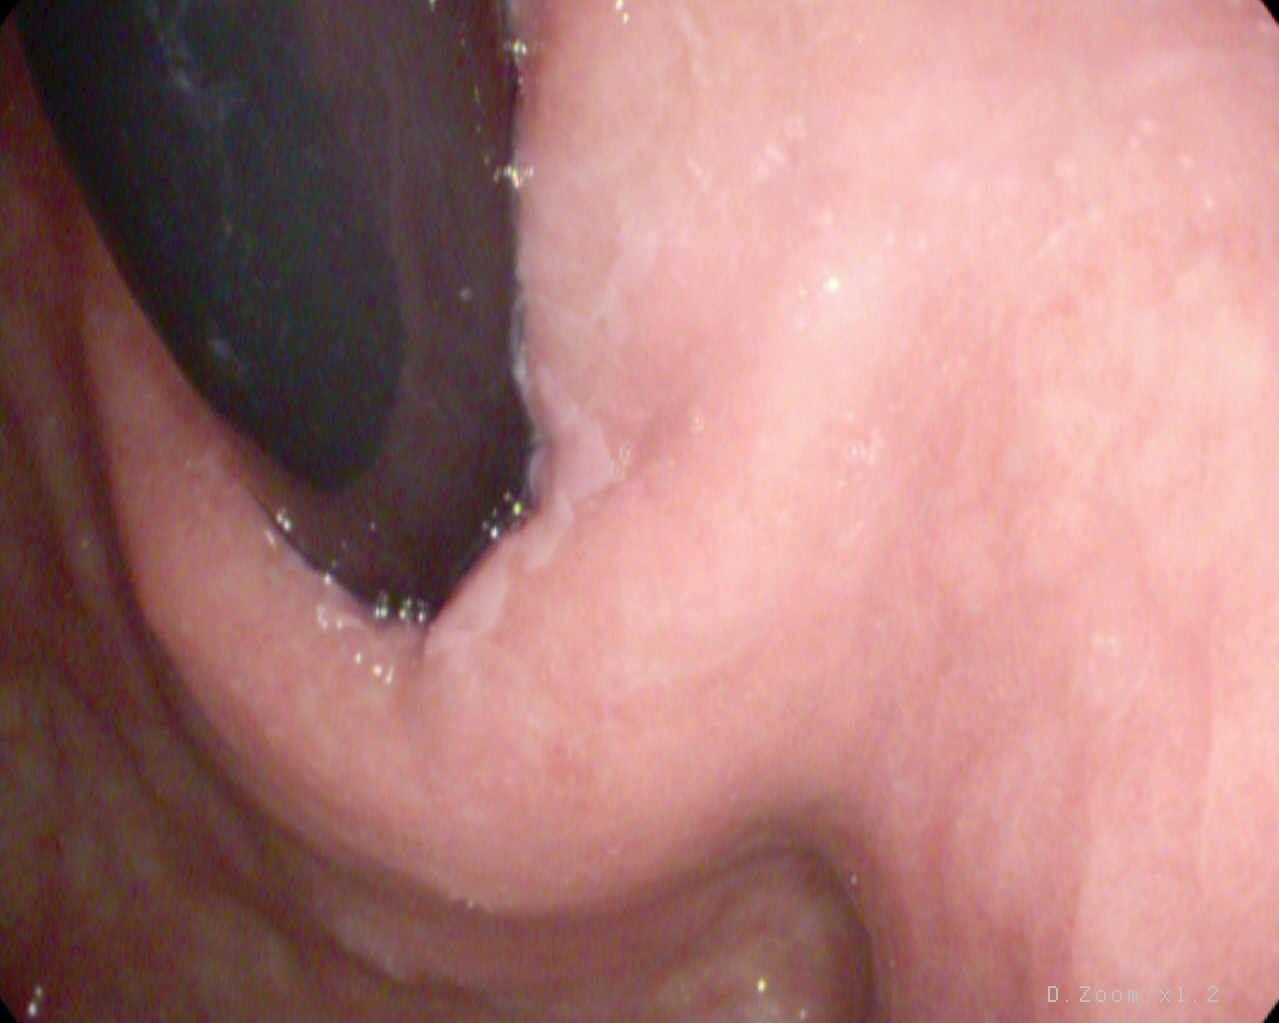This endoscopic image shows stomach in retroflexion.